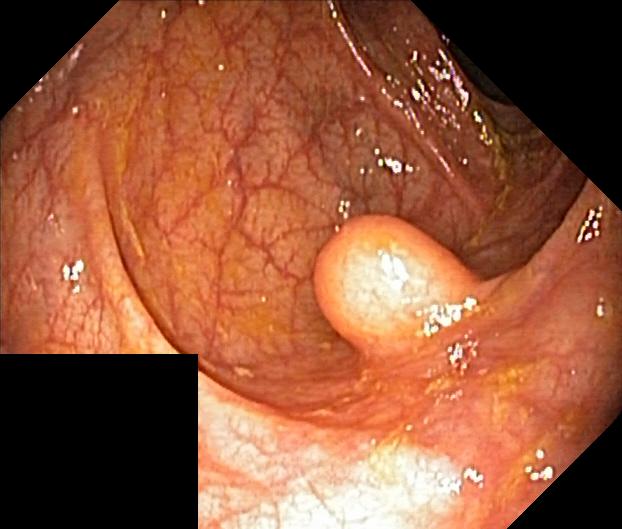colorectal polyp(s).